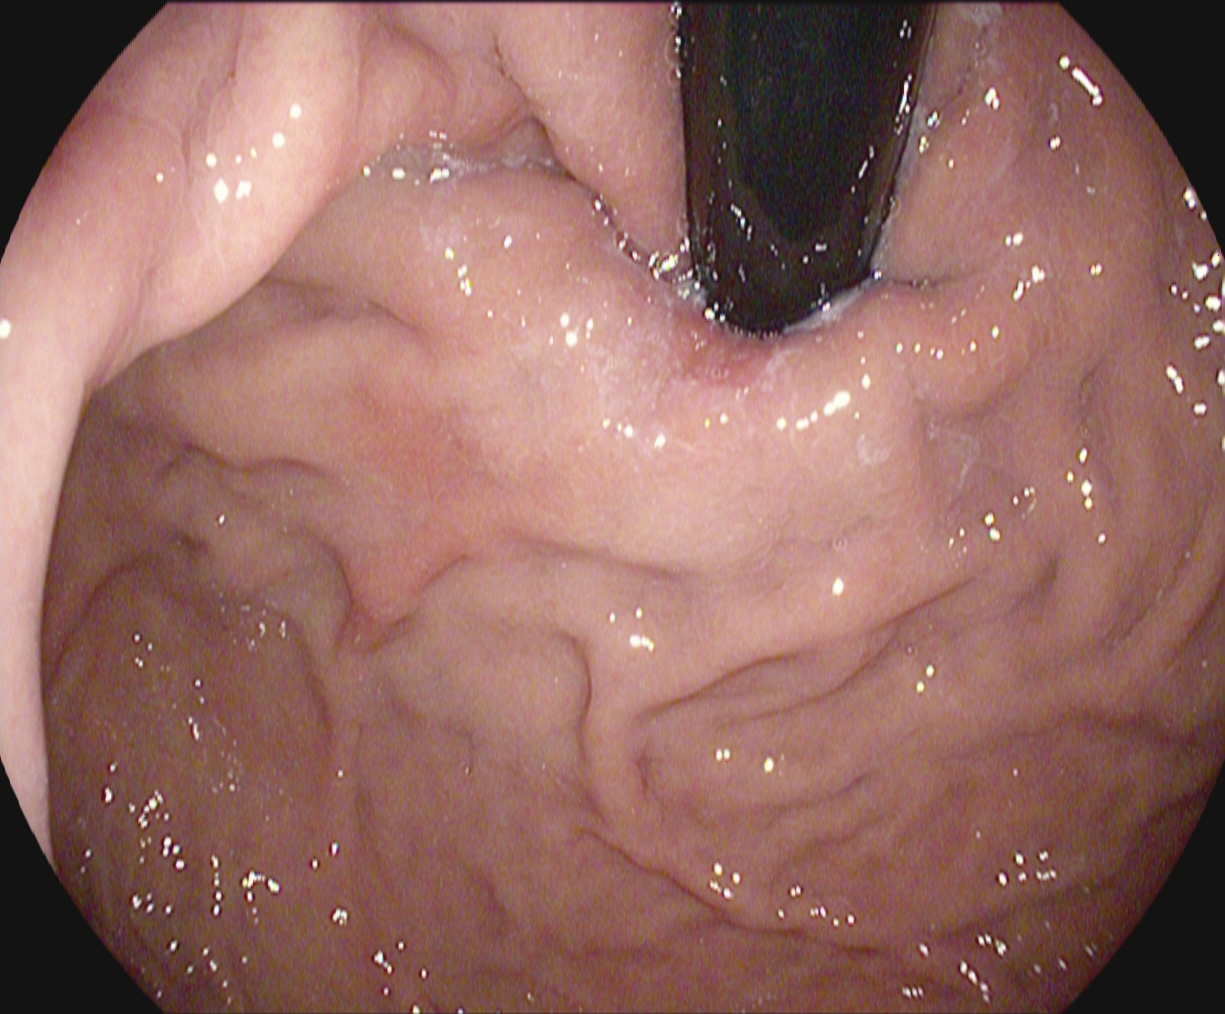Gastroscopy. Tract: upper GI tract. Finding: stomach in retroflexion.